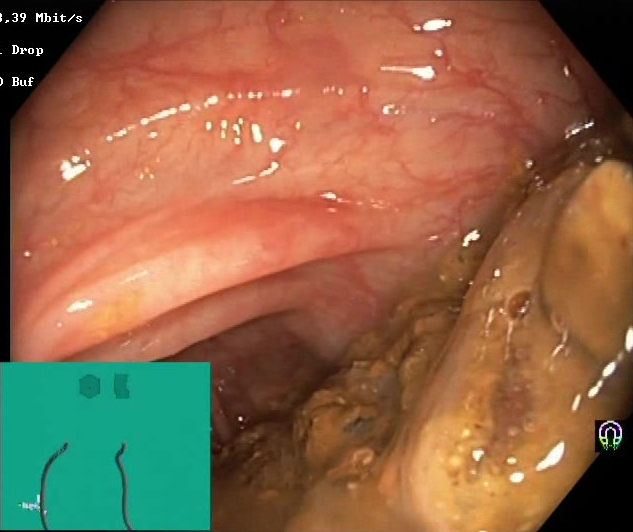{"modality": "colonoscopy", "tract": "lower GI tract", "finding": "BBPS score 0\u20131 (inadequate preparation)"}